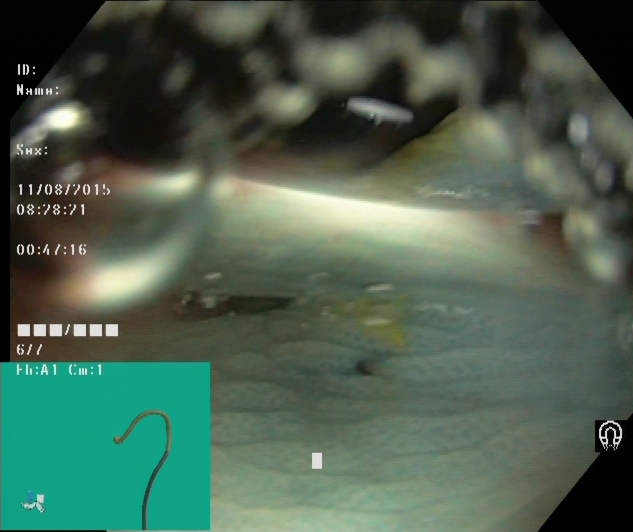Dyed resection margins (post-polypectomy).